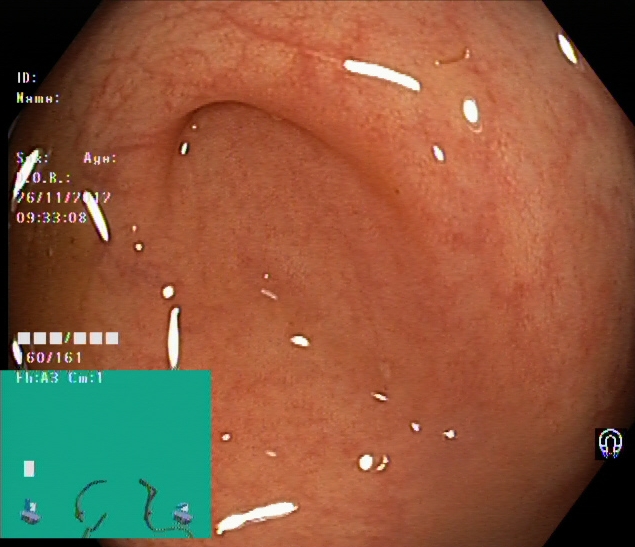{"modality": "colonoscopy", "category": "anatomical landmark", "finding": "cecum"}